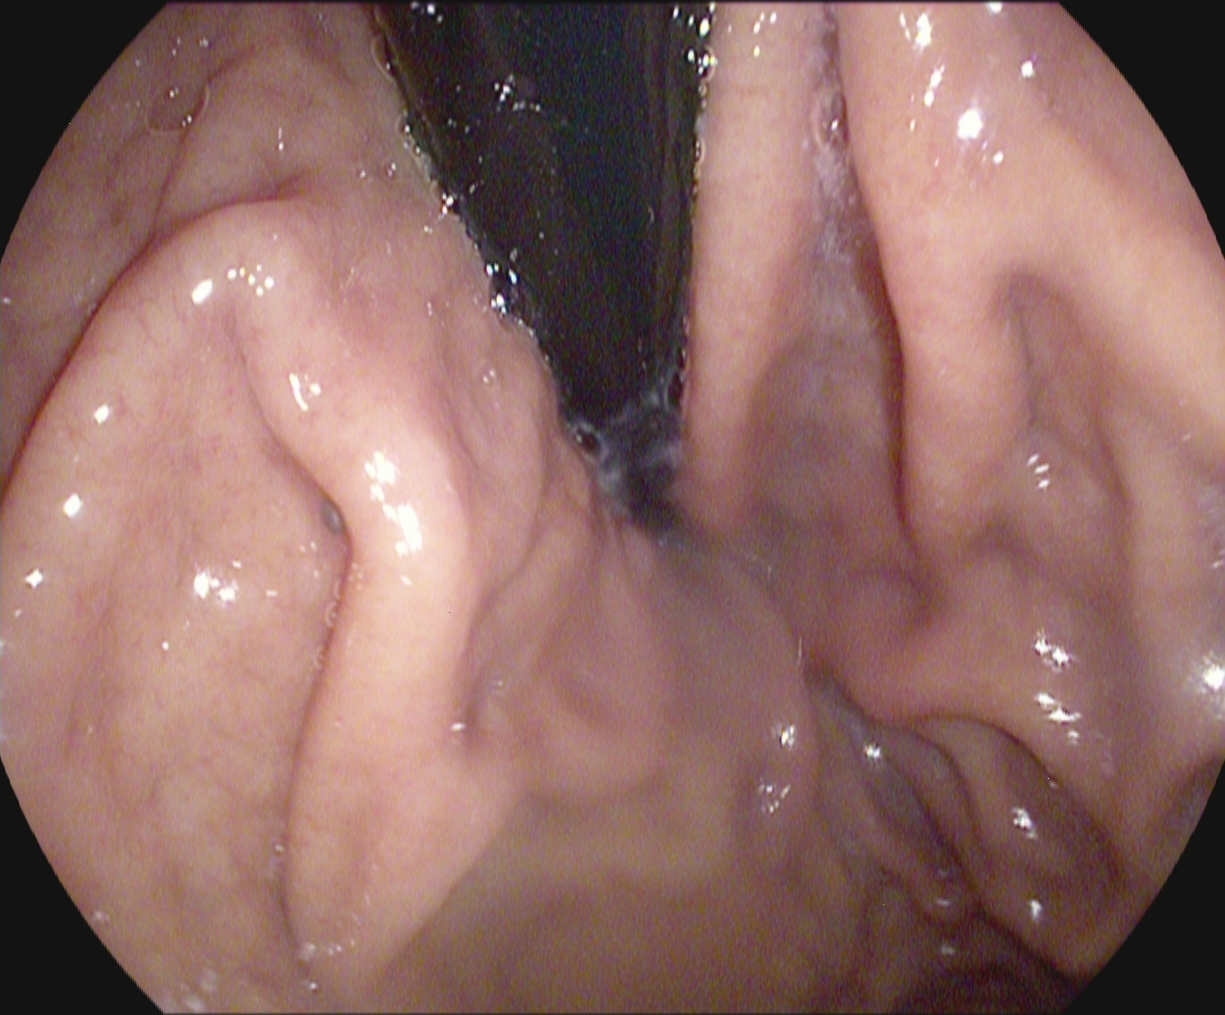stomach in retroflexion.